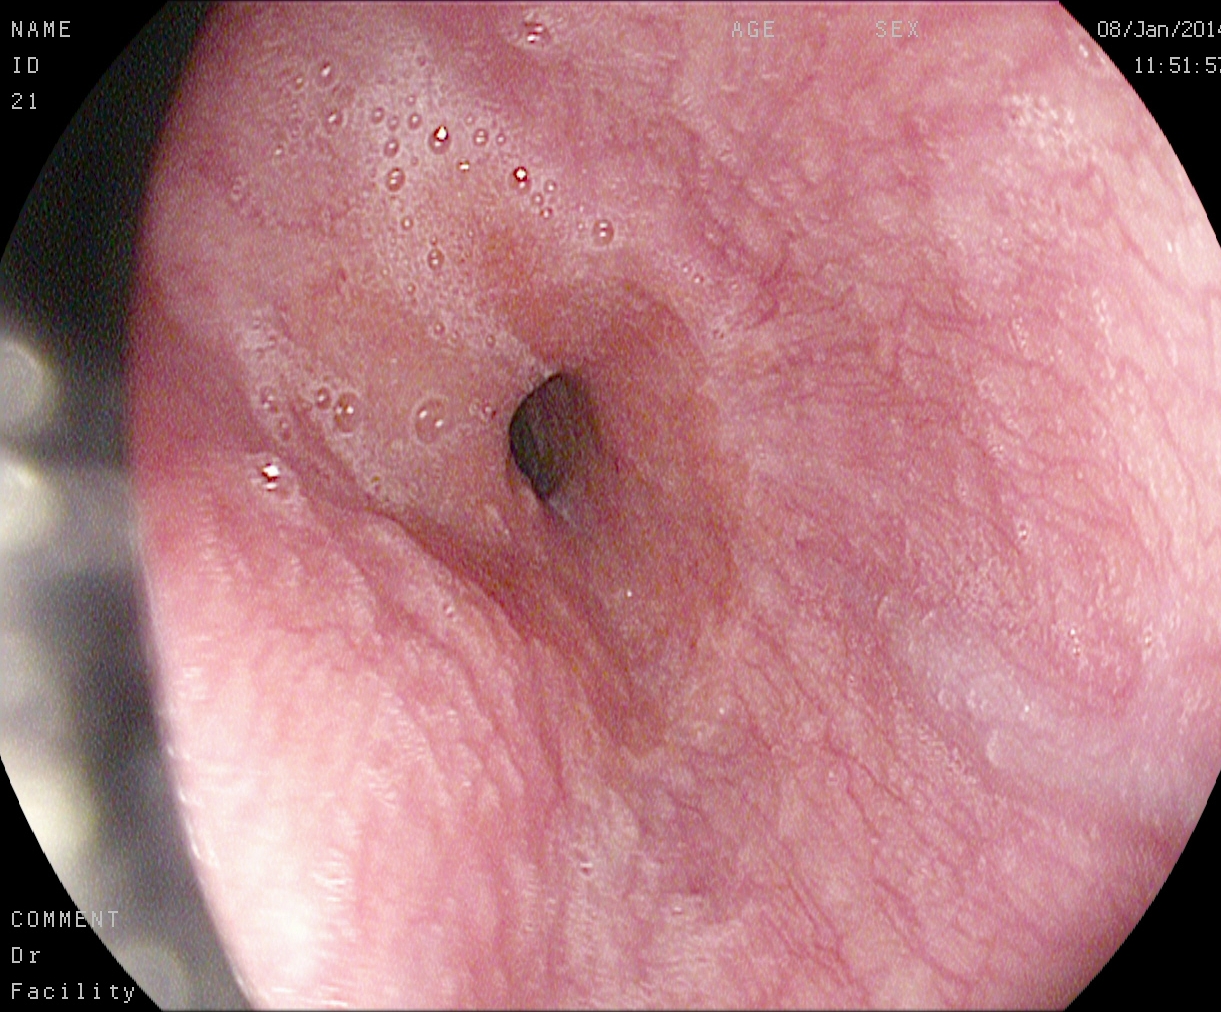This endoscopy frame of the upper GI tract shows Z-line (gastroesophageal junction).